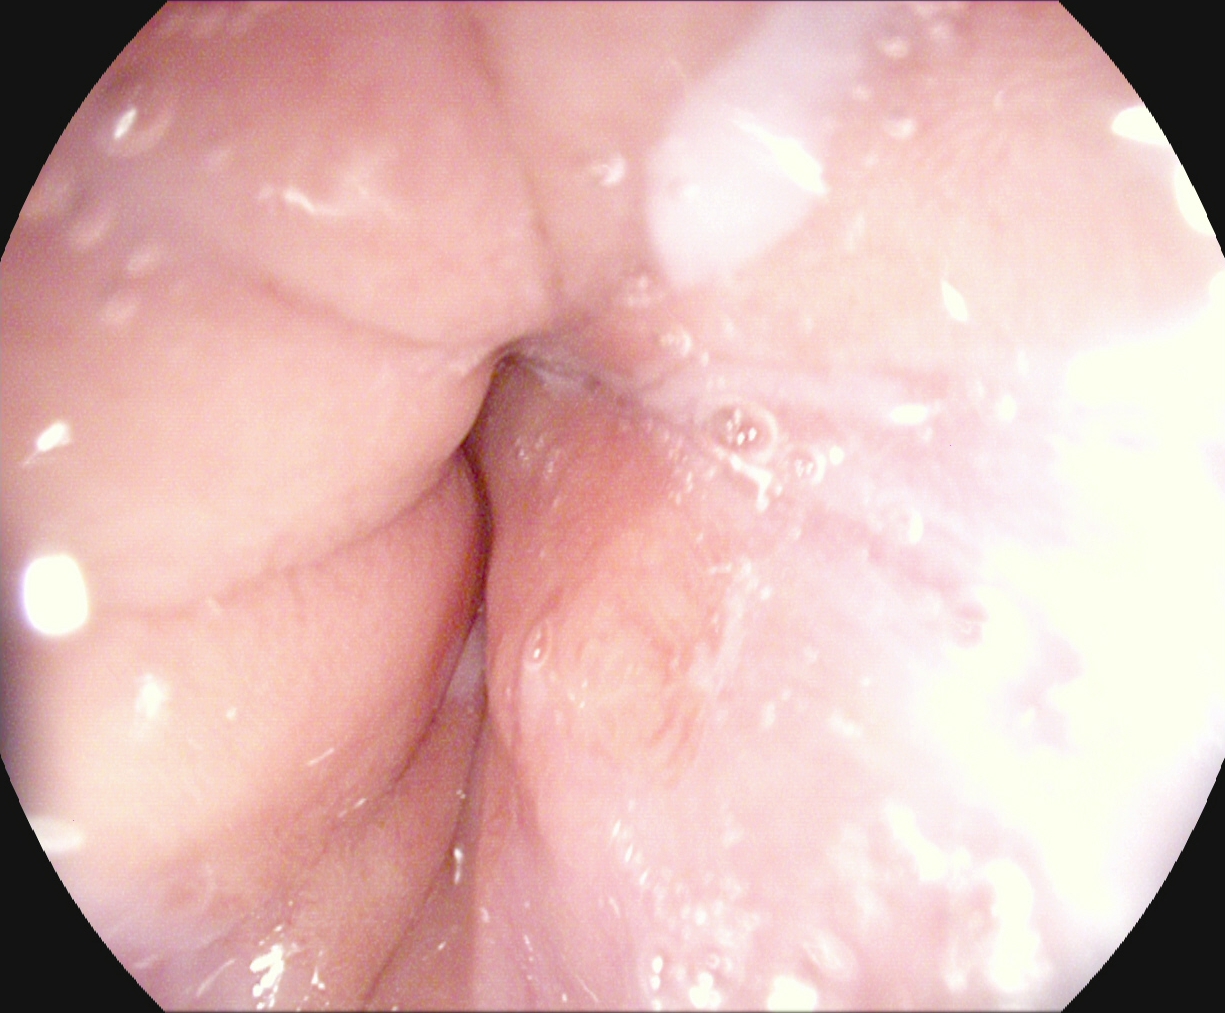Z-line (gastroesophageal junction).